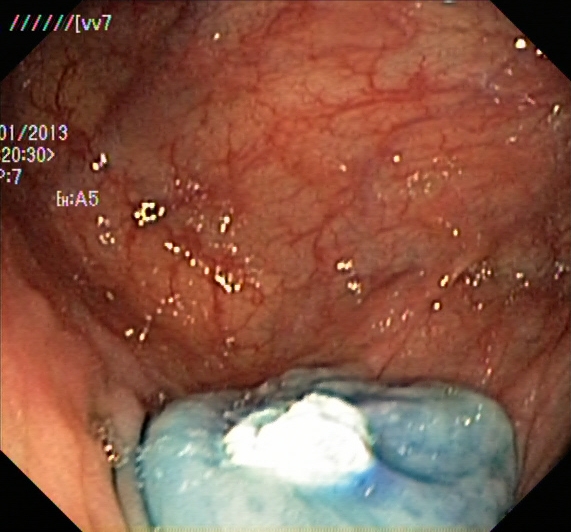This endoscopy frame shows dyed and lifted polyp (pre-resection).